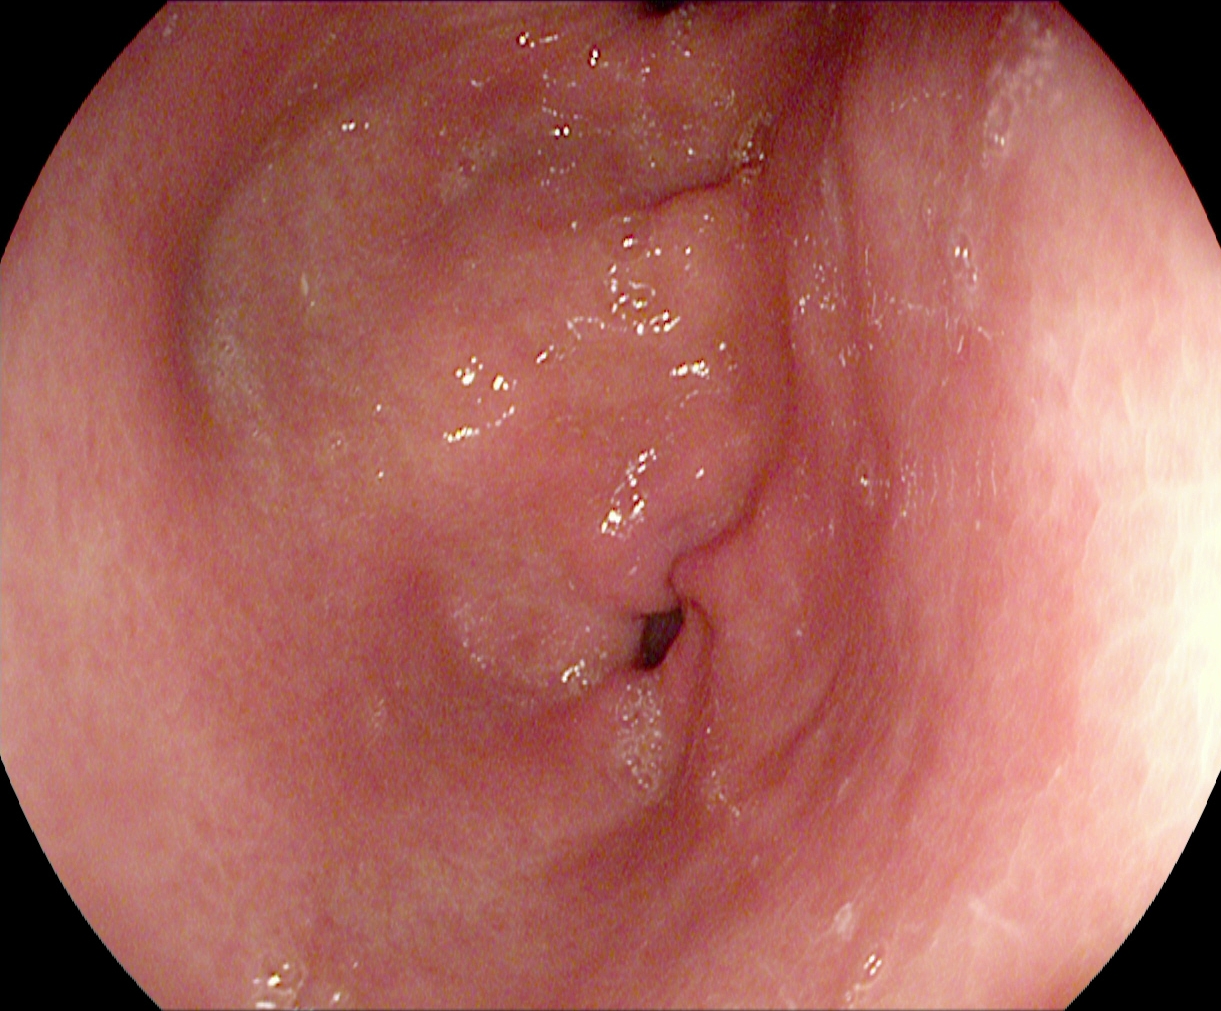modality: esophagogastroduodenoscopy
tract: upper GI tract
finding: pylorus